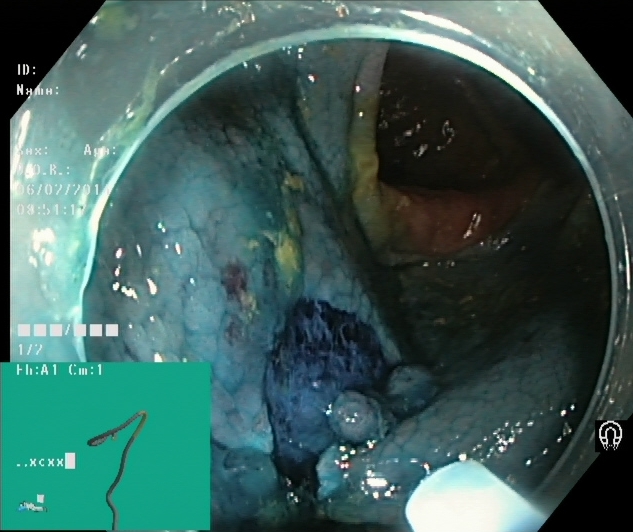PROCEDURE: Lower gastrointestinal endoscopy.
FINDINGS: Dyed resection margins (post-polypectomy).